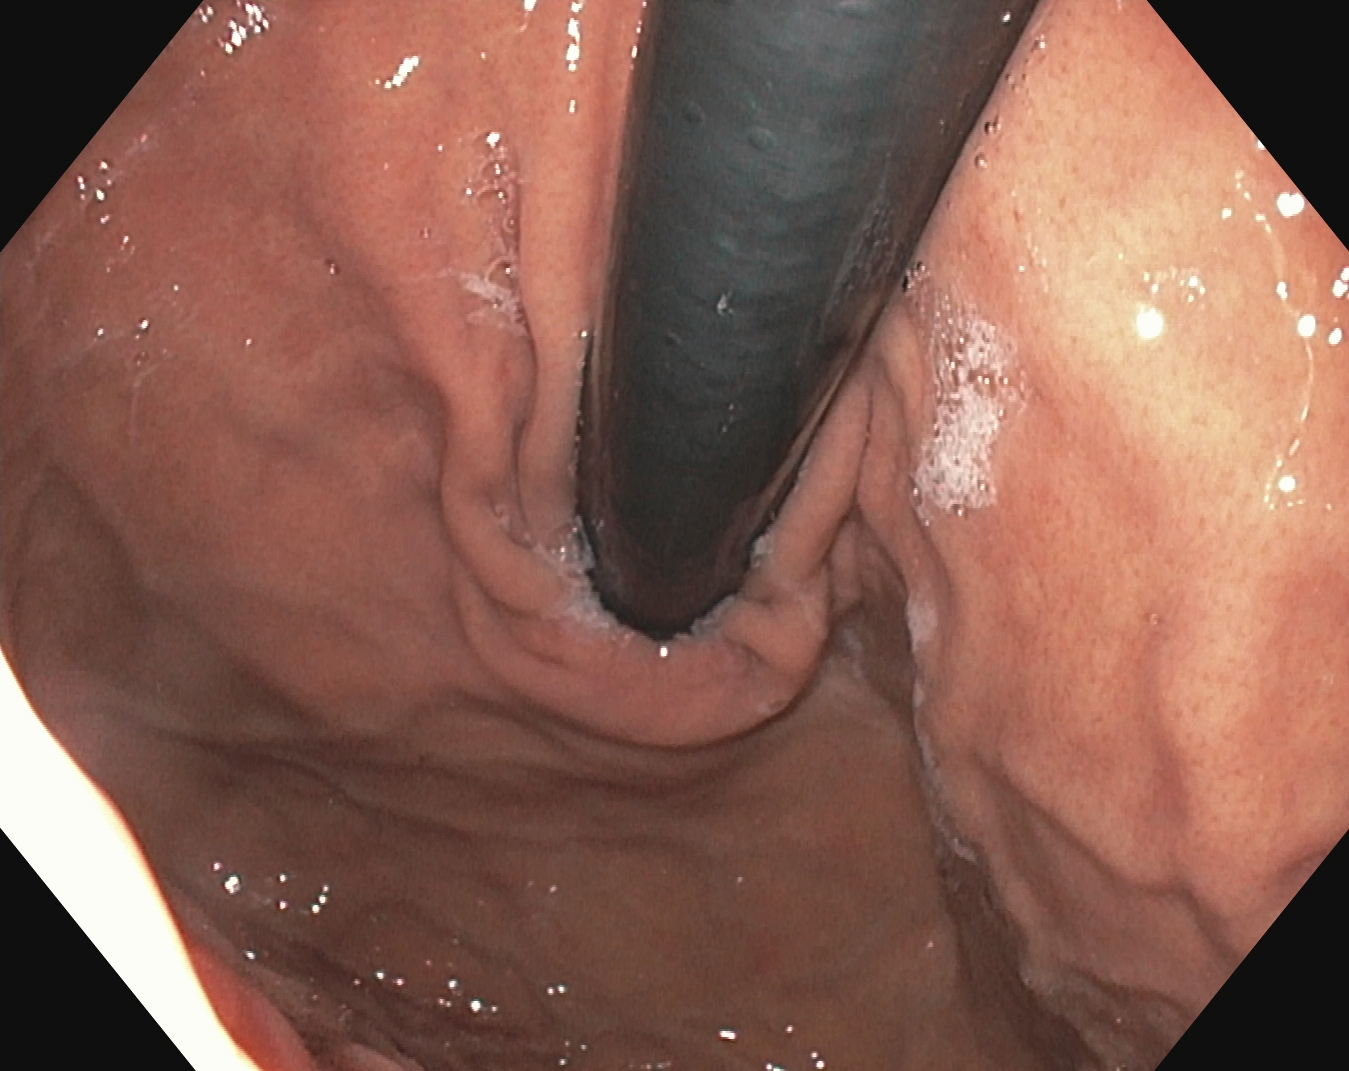Esophagogastroduodenoscopy. Finding: stomach in retroflexion.